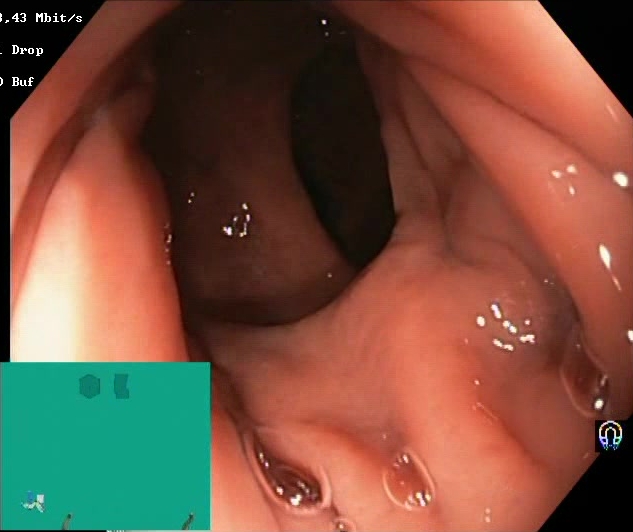Endoscopic frame of the lower GI tract showing Boston Bowel Preparation Scale score 2–3 (adequate preparation).